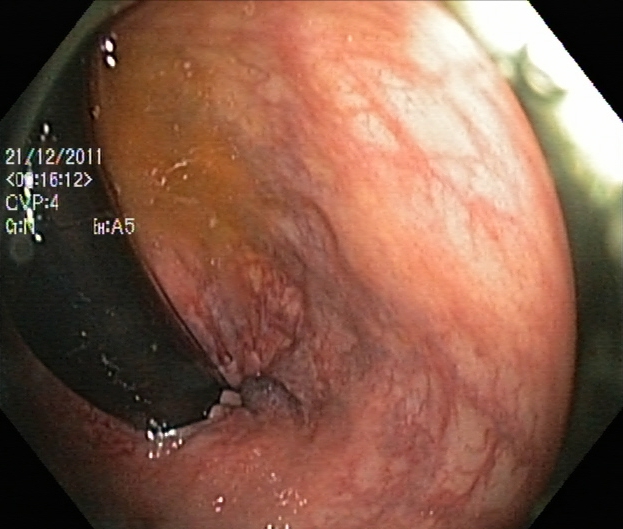Endoscopic frame of the lower GI tract showing rectum in retroflexion.